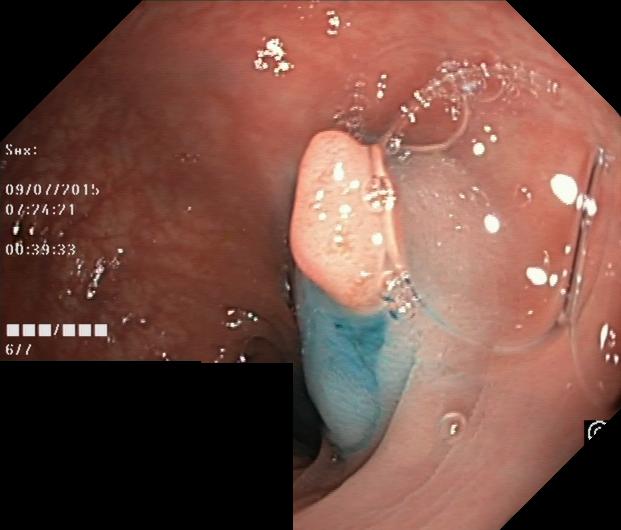Lower gastrointestinal endoscopy — colorectal polyp(s).